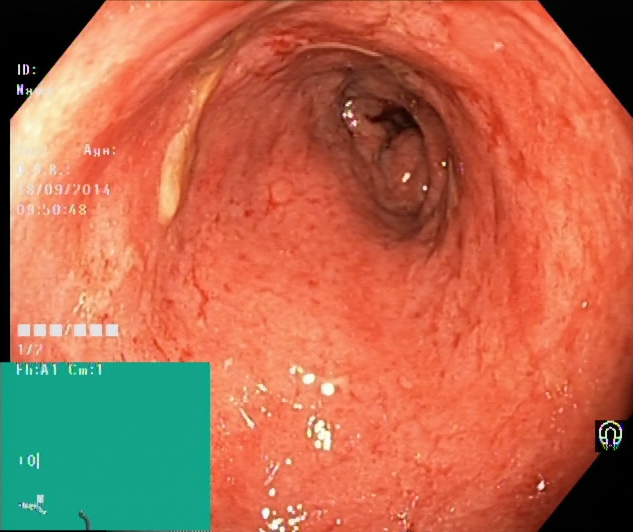{"modality": "colonoscopy", "tract": "lower GI tract", "category": "pathological finding", "finding": "ulcerative colitis, Mayo endoscopic subscore 2"}